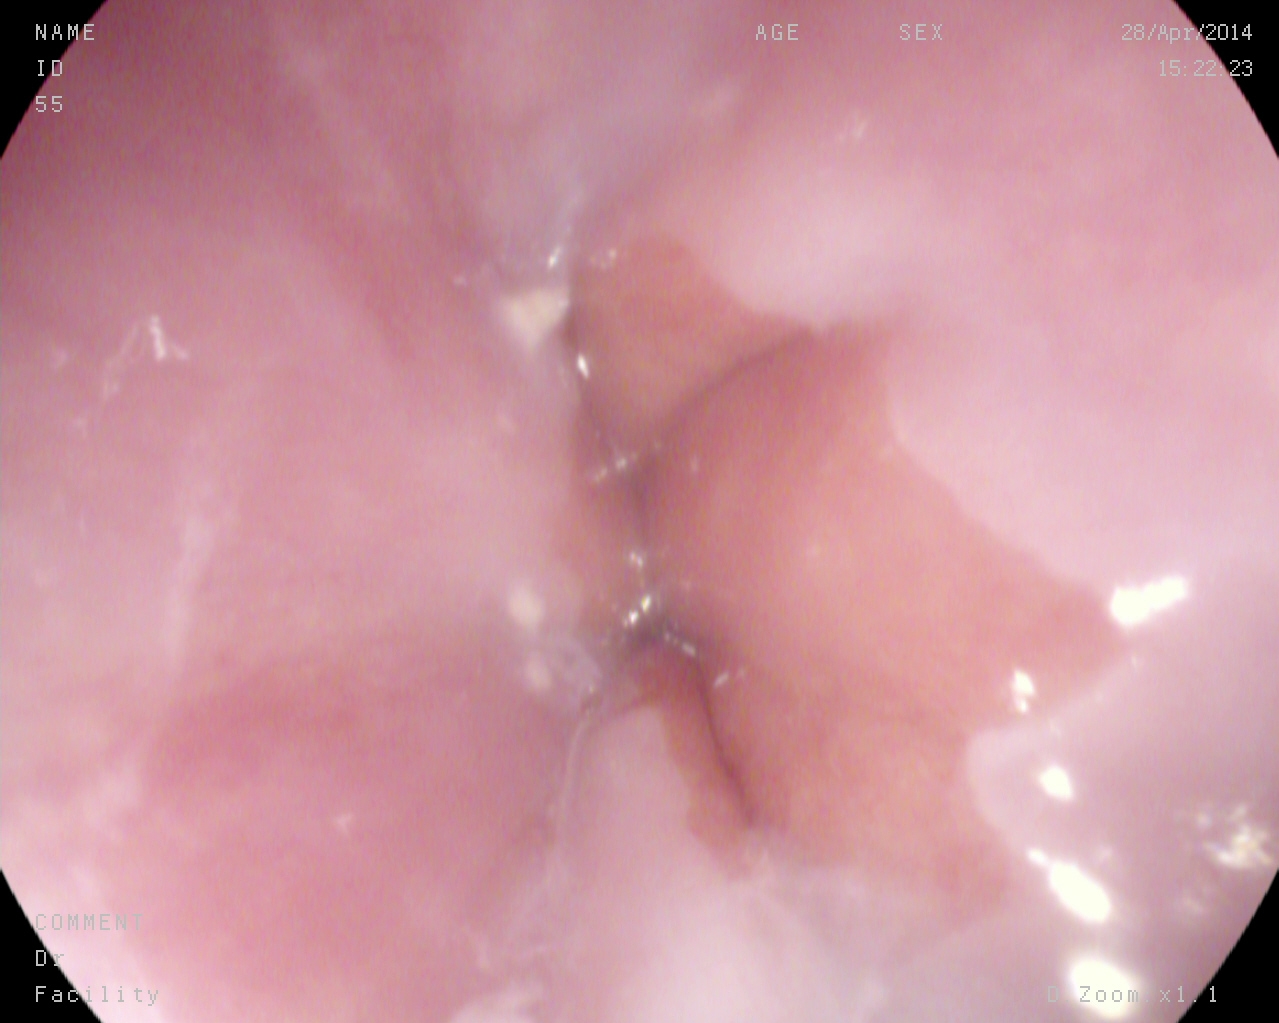This endoscopy frame shows Z-line (gastroesophageal junction).